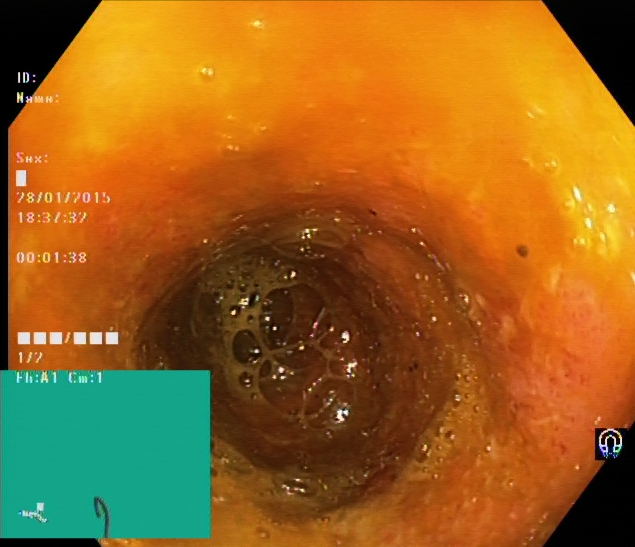modality: colonoscopy; category: pathological finding; finding: ulcerative colitis, Mayo endoscopic subscore 2